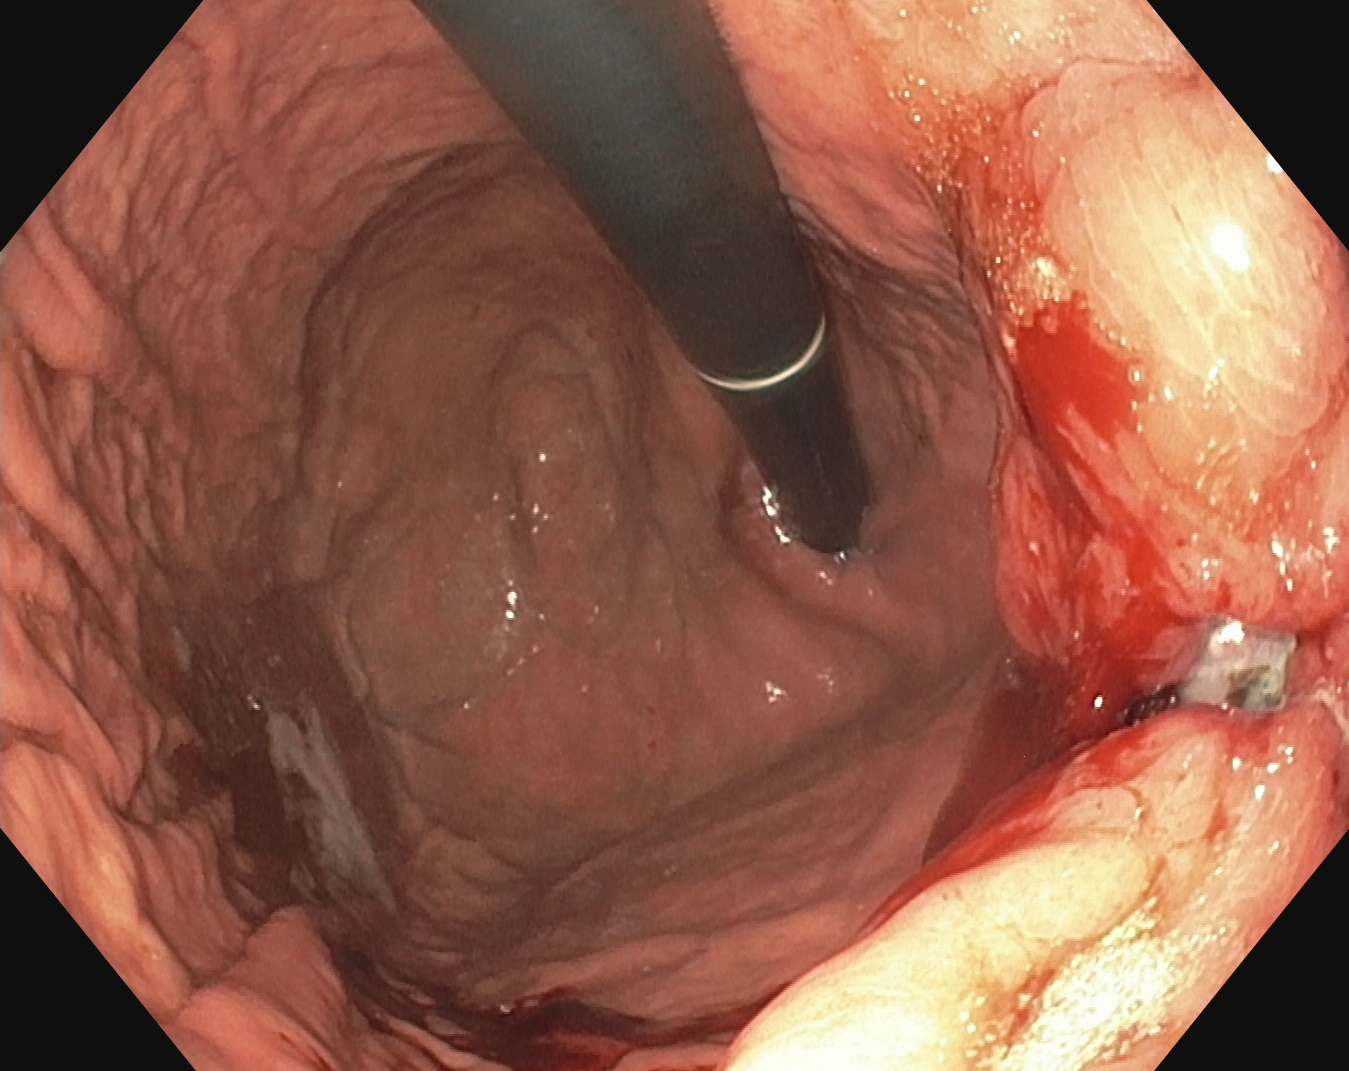Stomach in retroflexion.